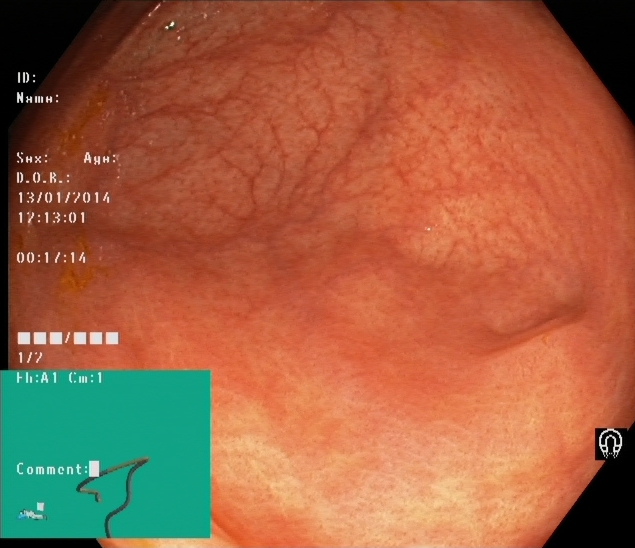Lower-GI endoscopy — cecum.